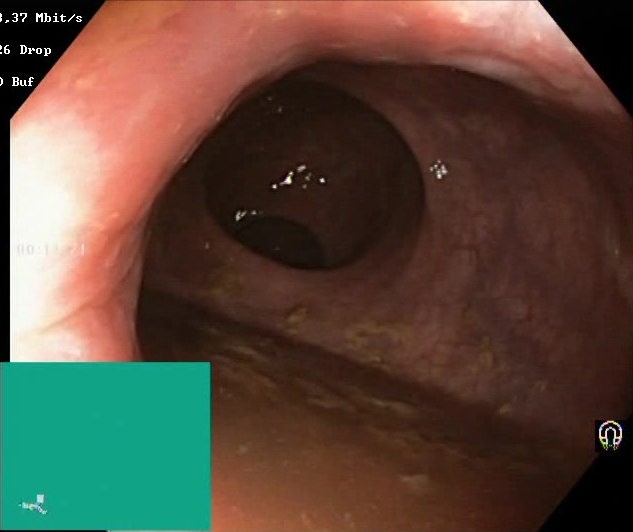Boston Bowel Preparation Scale score 0–1 (inadequate preparation).